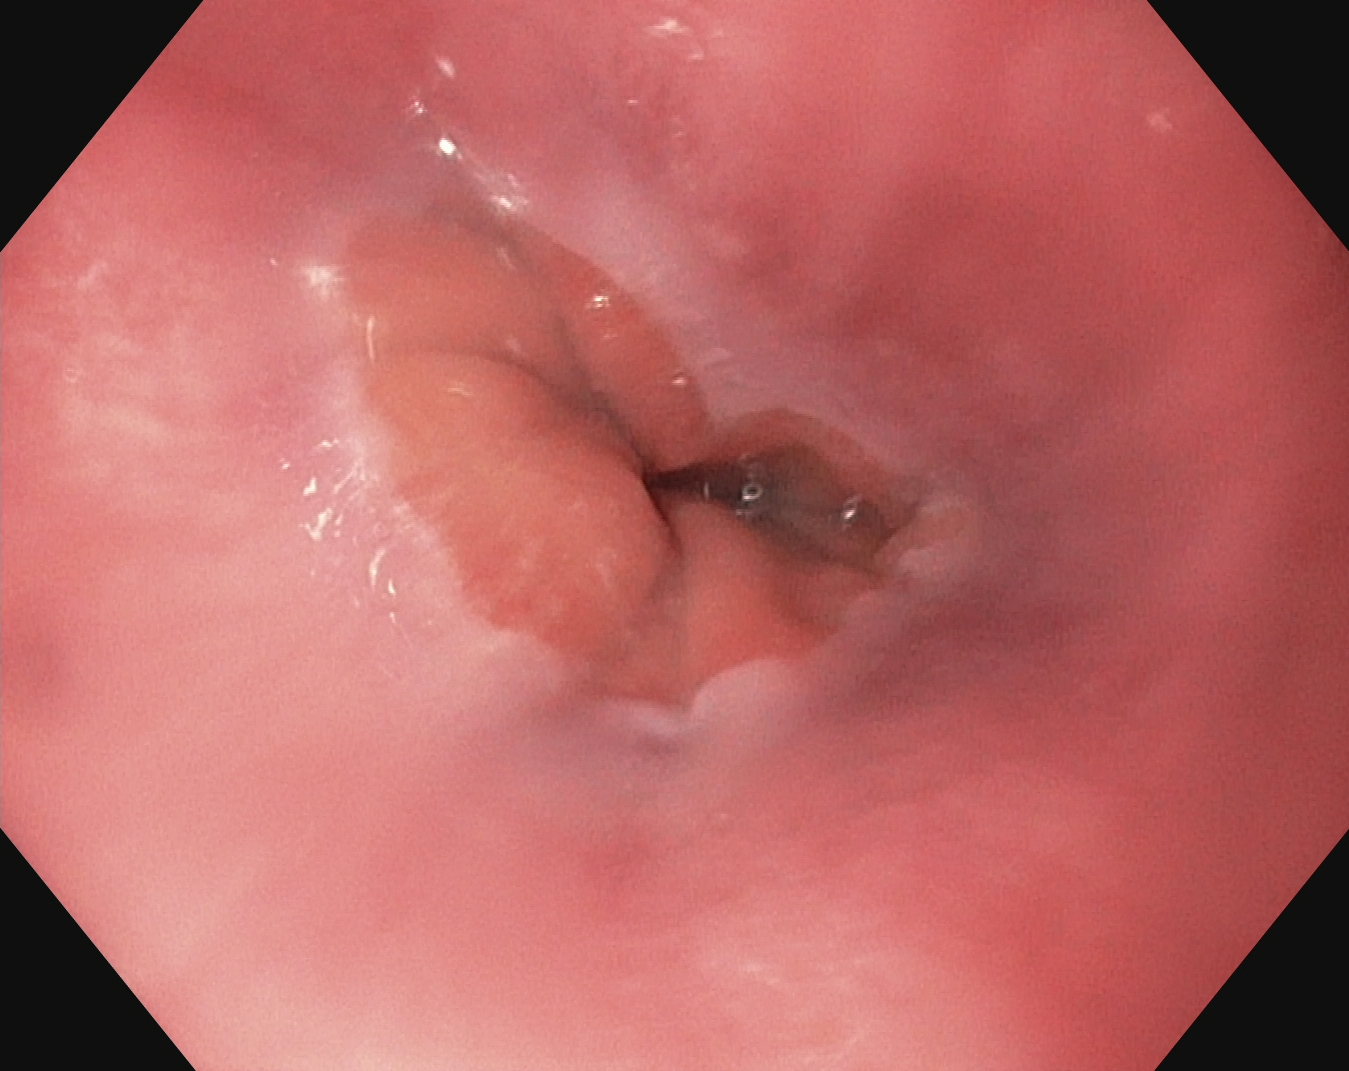{"modality": "EGD", "finding": "Z-line (gastroesophageal junction)"}